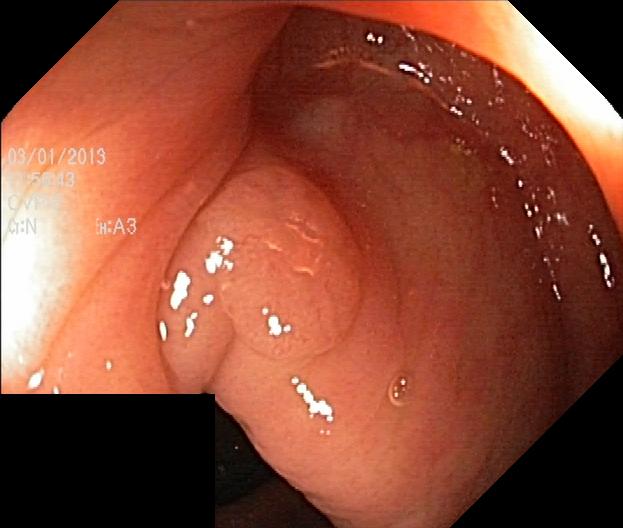This endoscopic image of the lower GI tract shows colorectal polyp(s).